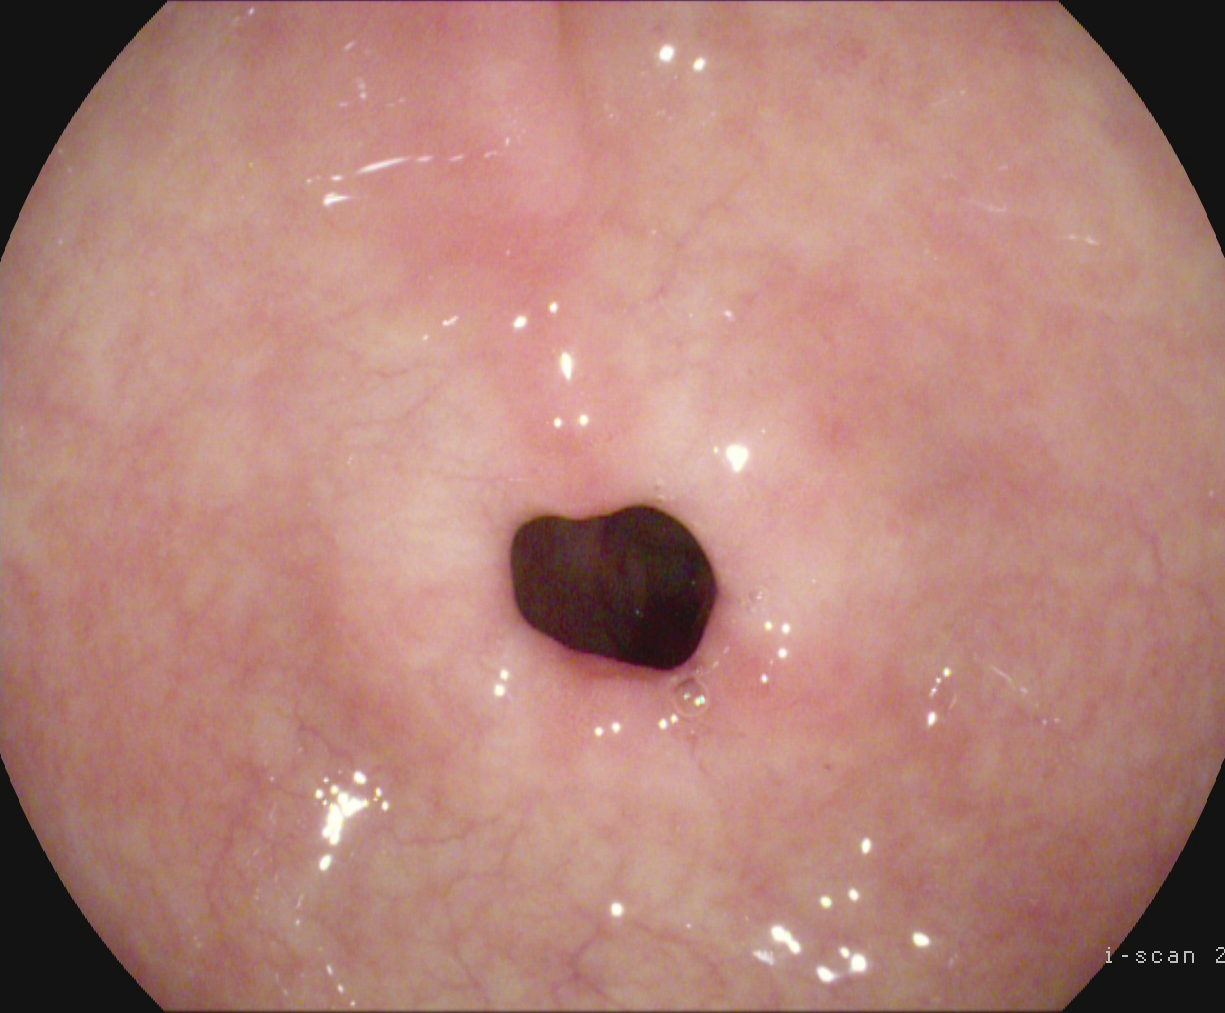{"modality": "gastroscopy", "tract": "upper GI tract", "finding": "pylorus"}